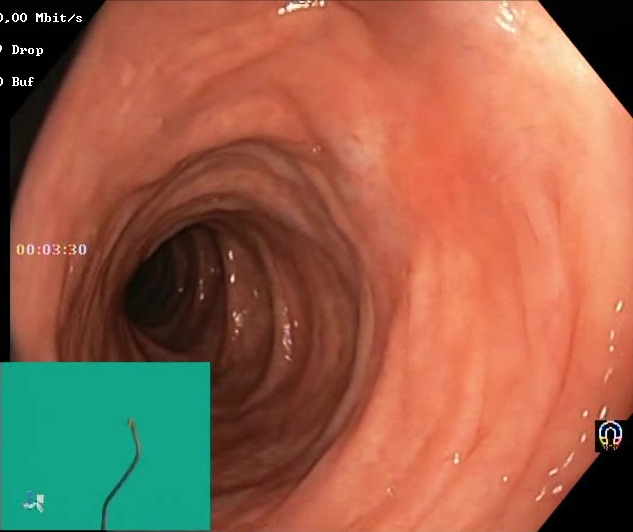Endoscopic frame of the lower GI tract showing BBPS score 2–3 (adequate preparation).